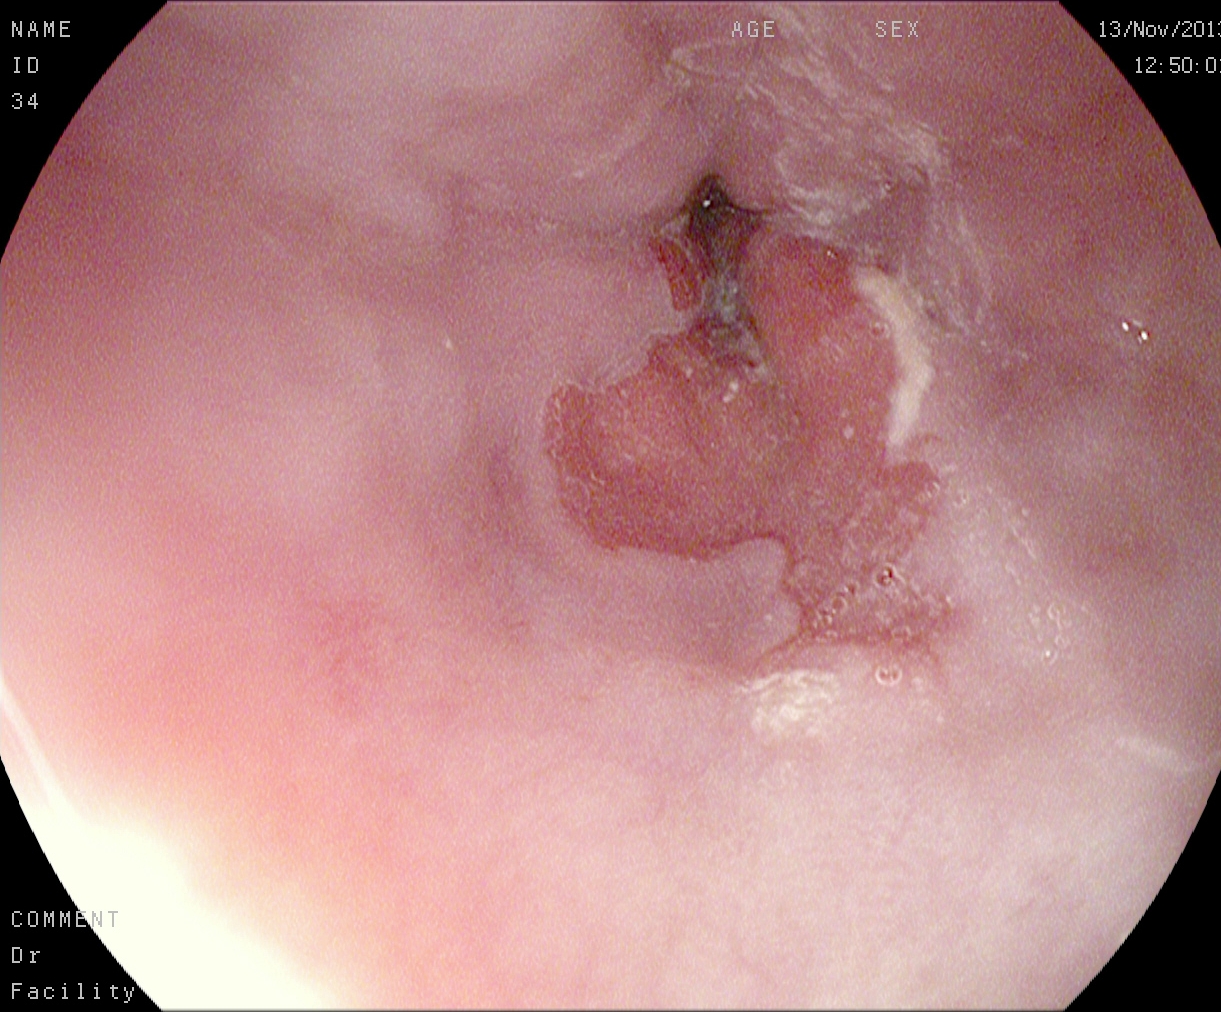modality: EGD | tract: upper GI tract | finding: reflux esophagitis, LA grade A